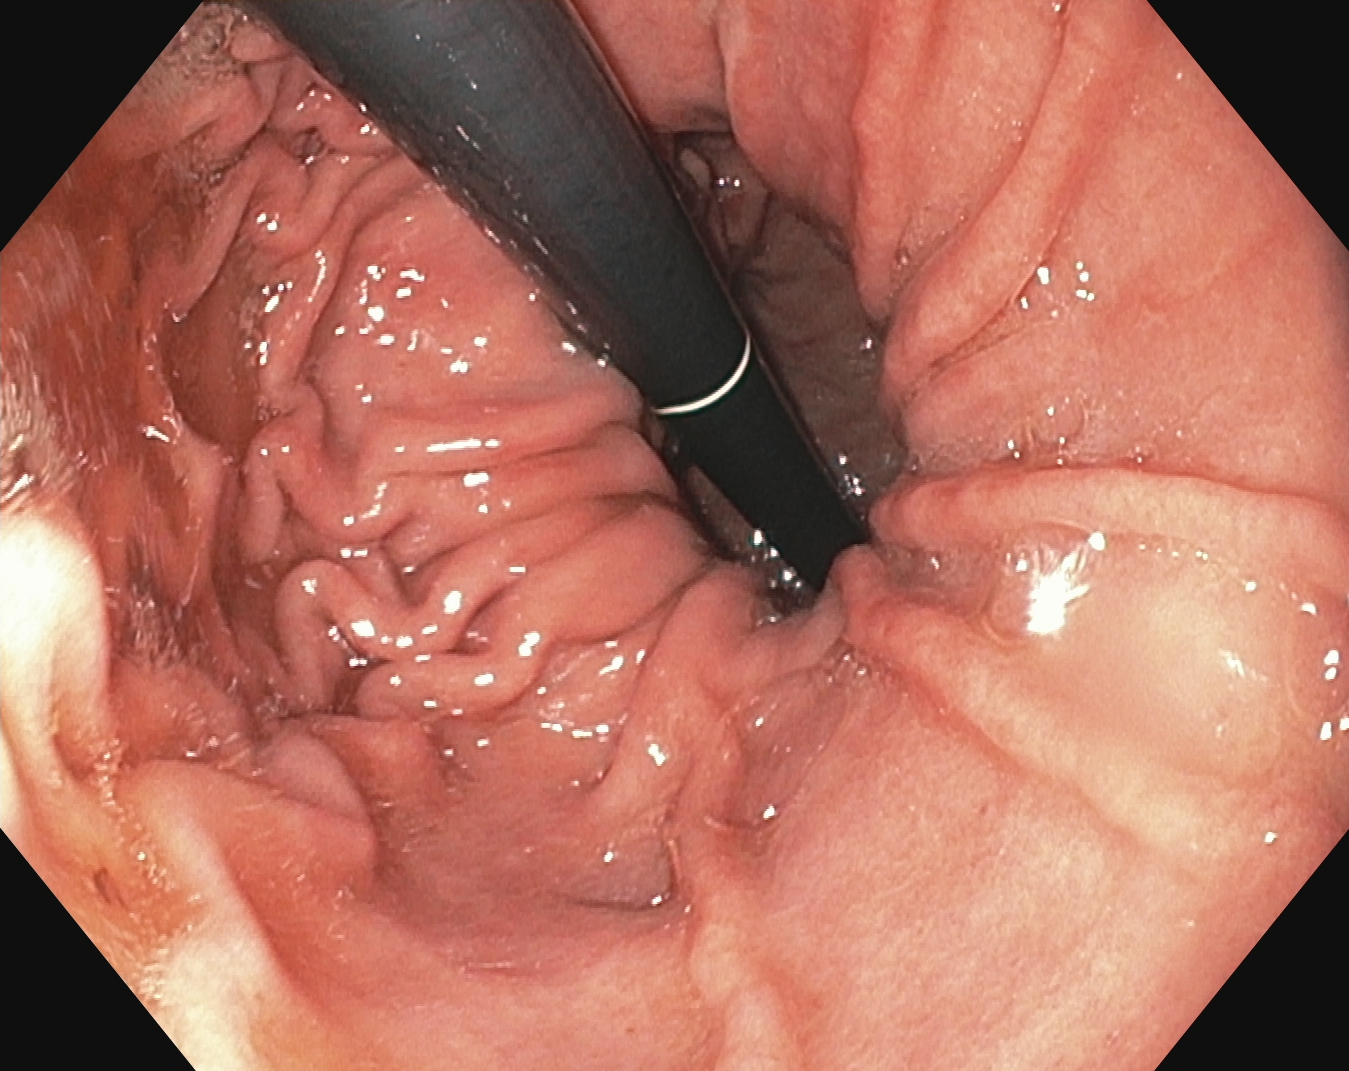Stomach in retroflexion.